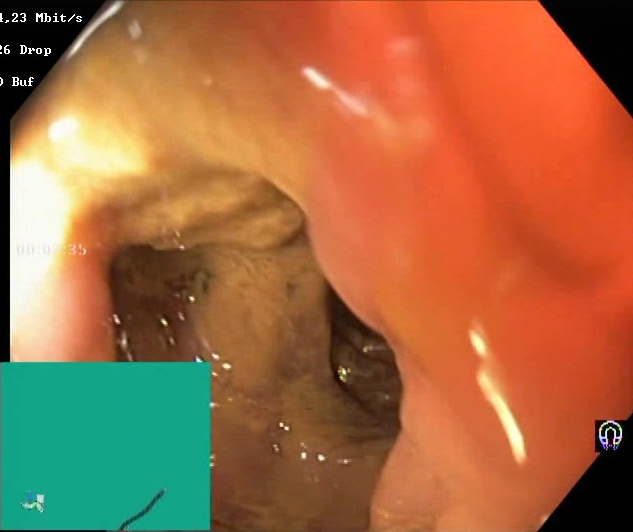modality: colonoscopy
category: mucosal-view quality
finding: Boston Bowel Preparation Scale score 0–1 (inadequate preparation)